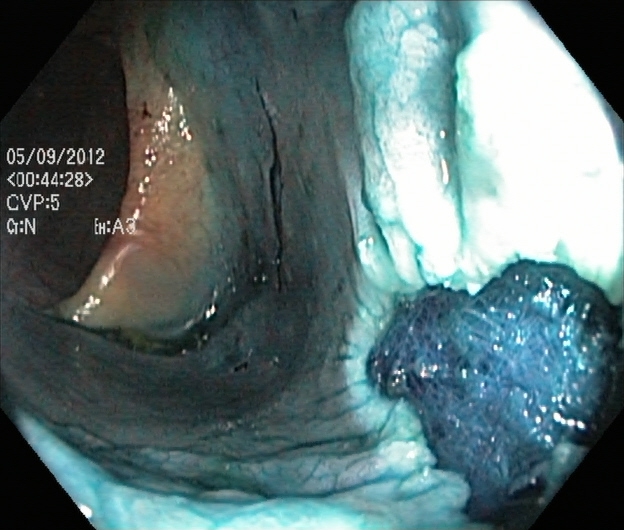This endoscopic image of the lower GI tract shows dyed resection margins (post-polypectomy).